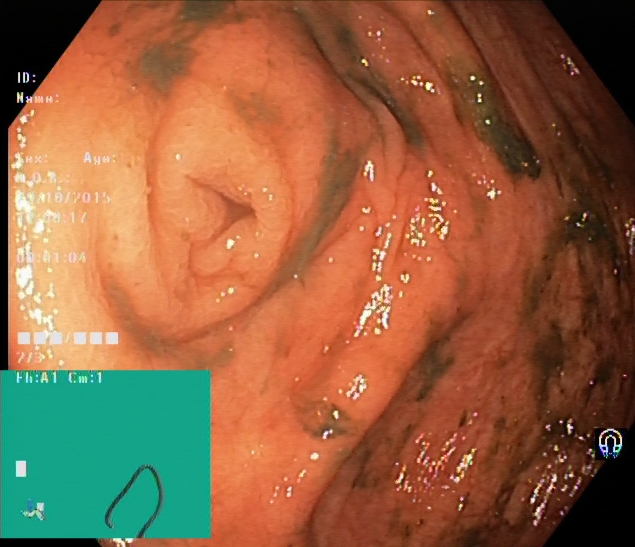PROCEDURE: Colonoscopy.
FINDINGS: Cecum.